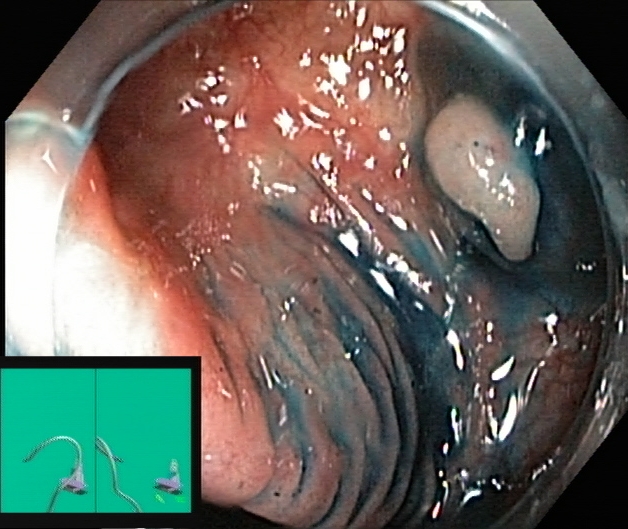Endoscopy image of the lower GI tract showing dyed and lifted polyp (pre-resection).